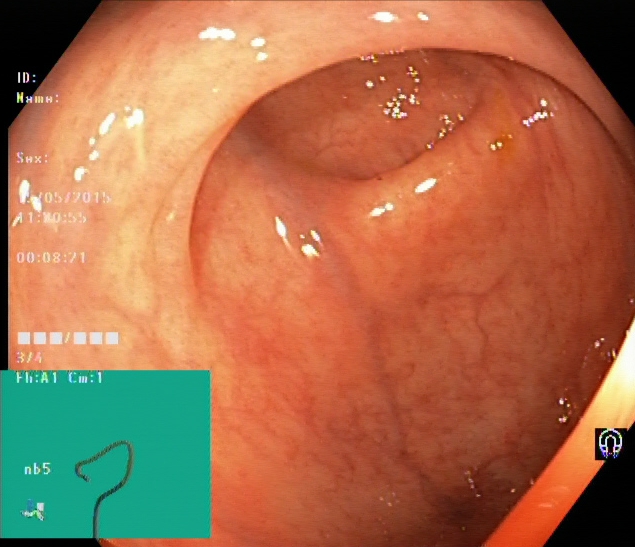{"modality": "lower gastrointestinal endoscopy", "tract": "lower GI tract", "finding": "cecum"}